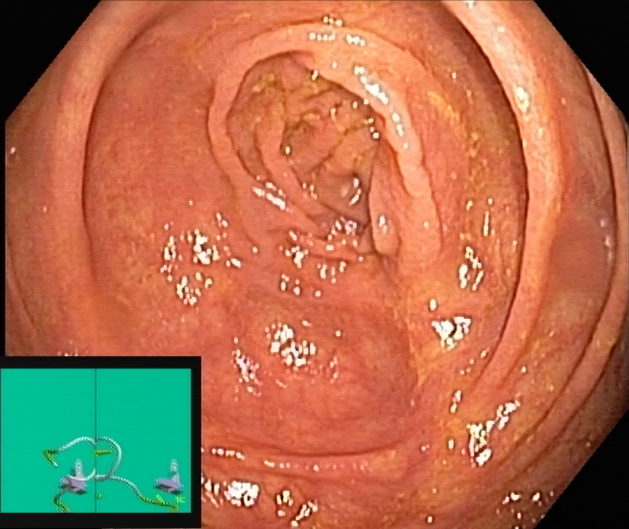This endoscopy frame of the lower GI tract shows cecum.